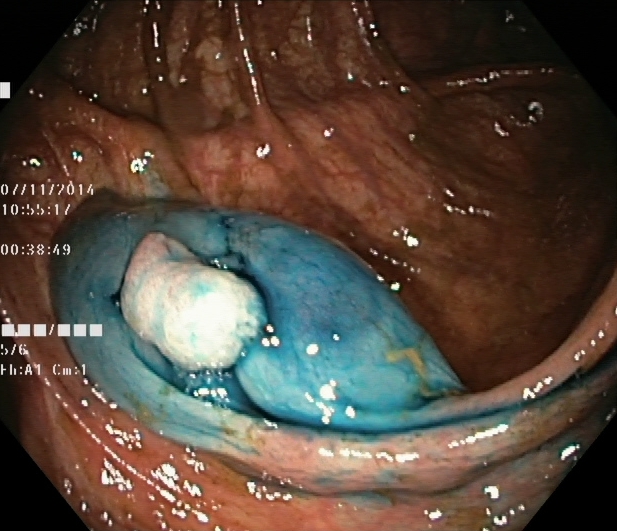Lower gastrointestinal endoscopy. Finding: dyed and lifted polyp (pre-resection).